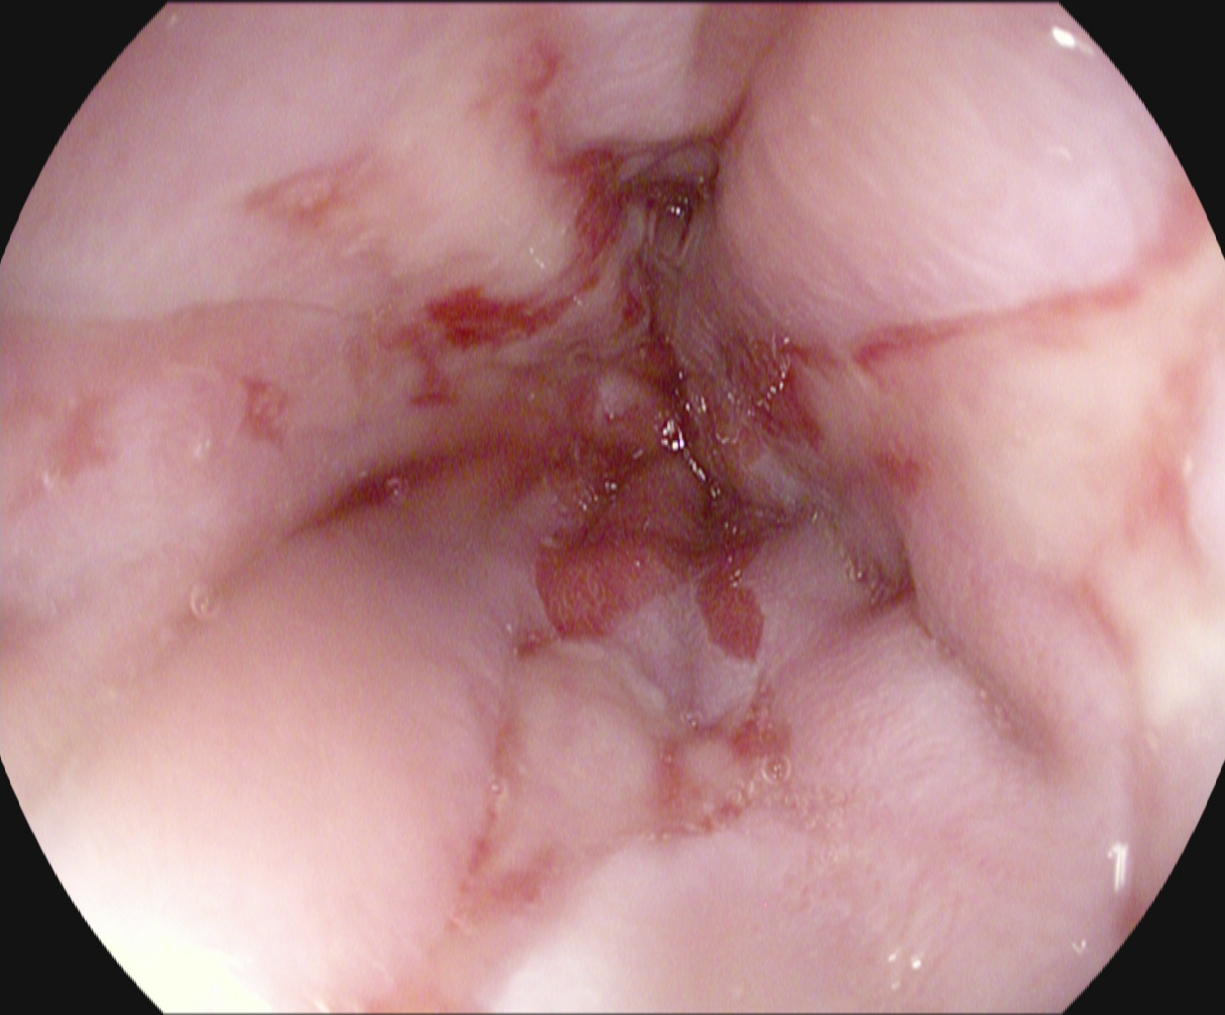reflux esophagitis, Los Angeles grade B–D.